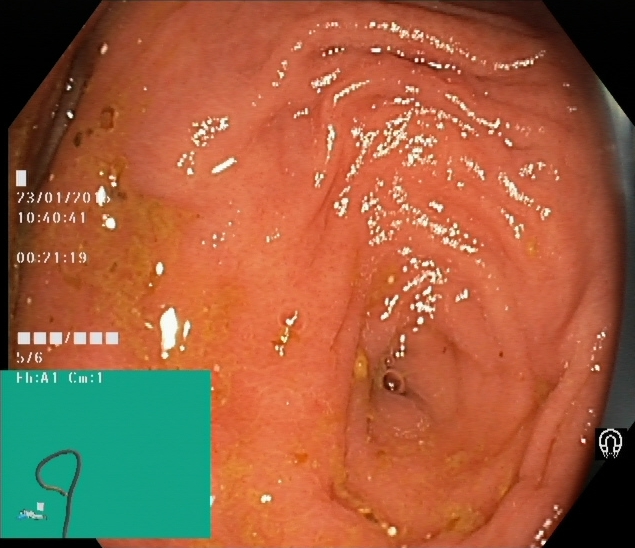Colonoscopy. Finding: cecum.